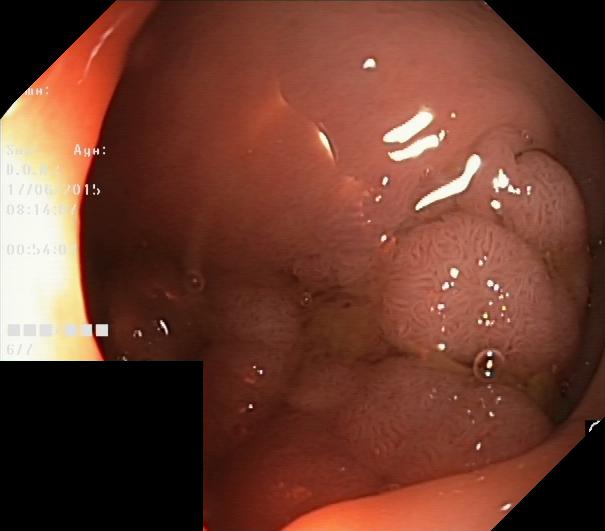Lower-GI endoscopy — colorectal polyp(s).